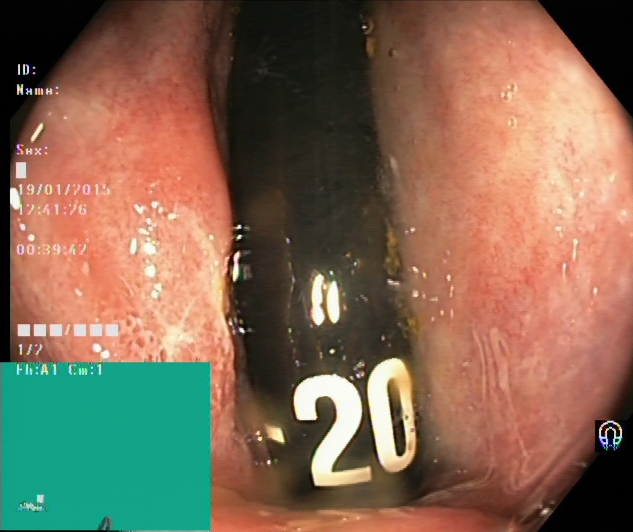Lower-GI endoscopy — rectum in retroflexion.